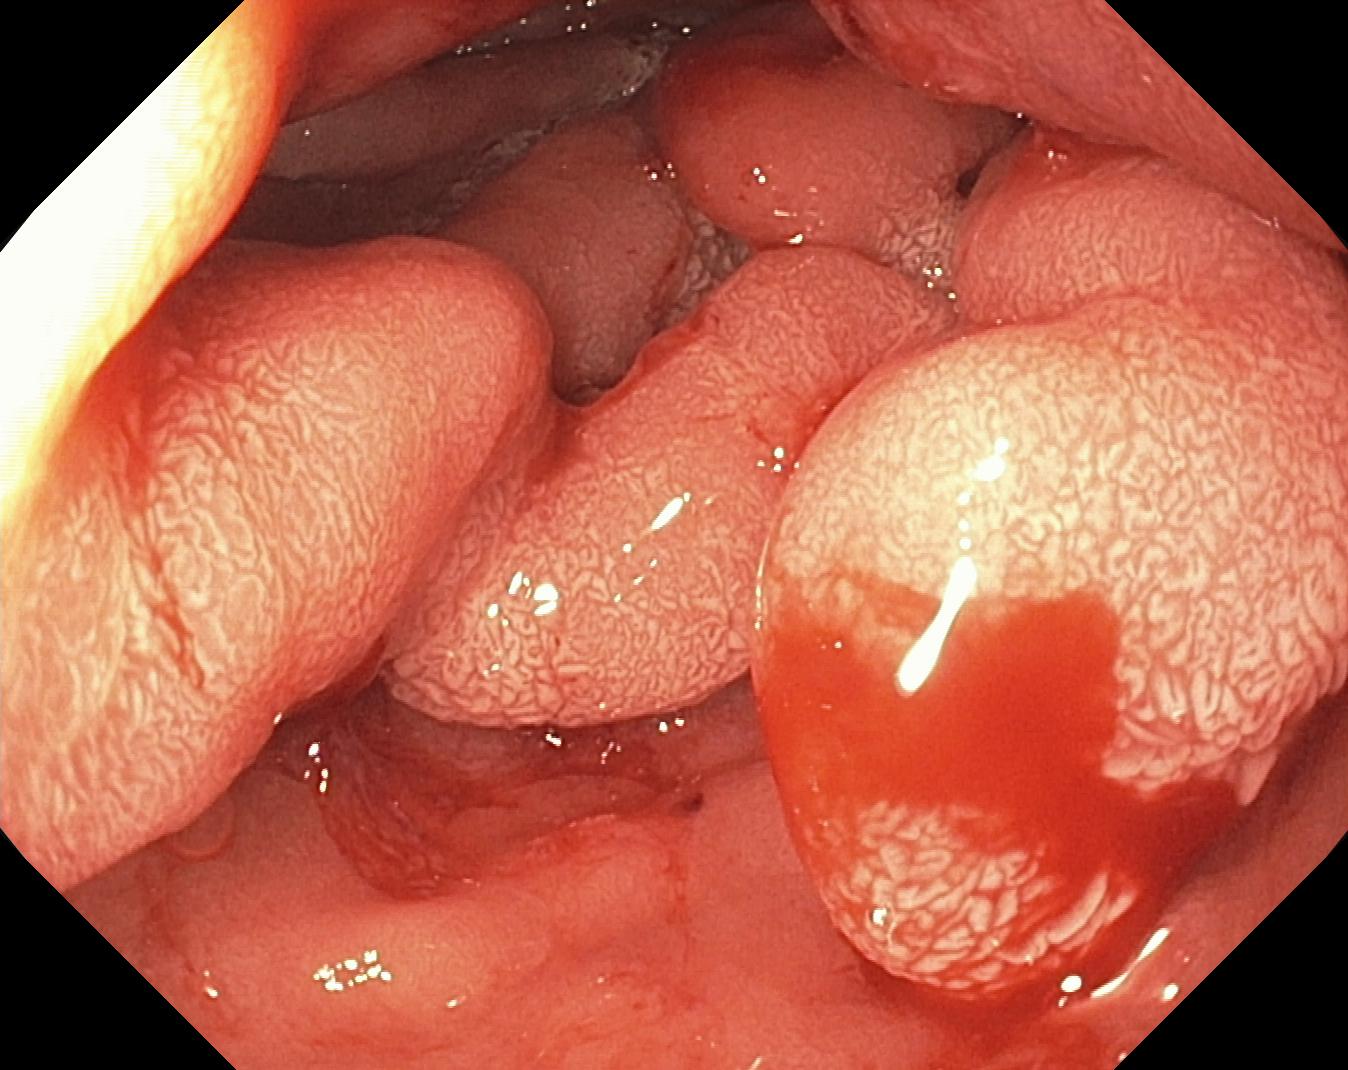This endoscopy frame shows colorectal polyp(s).